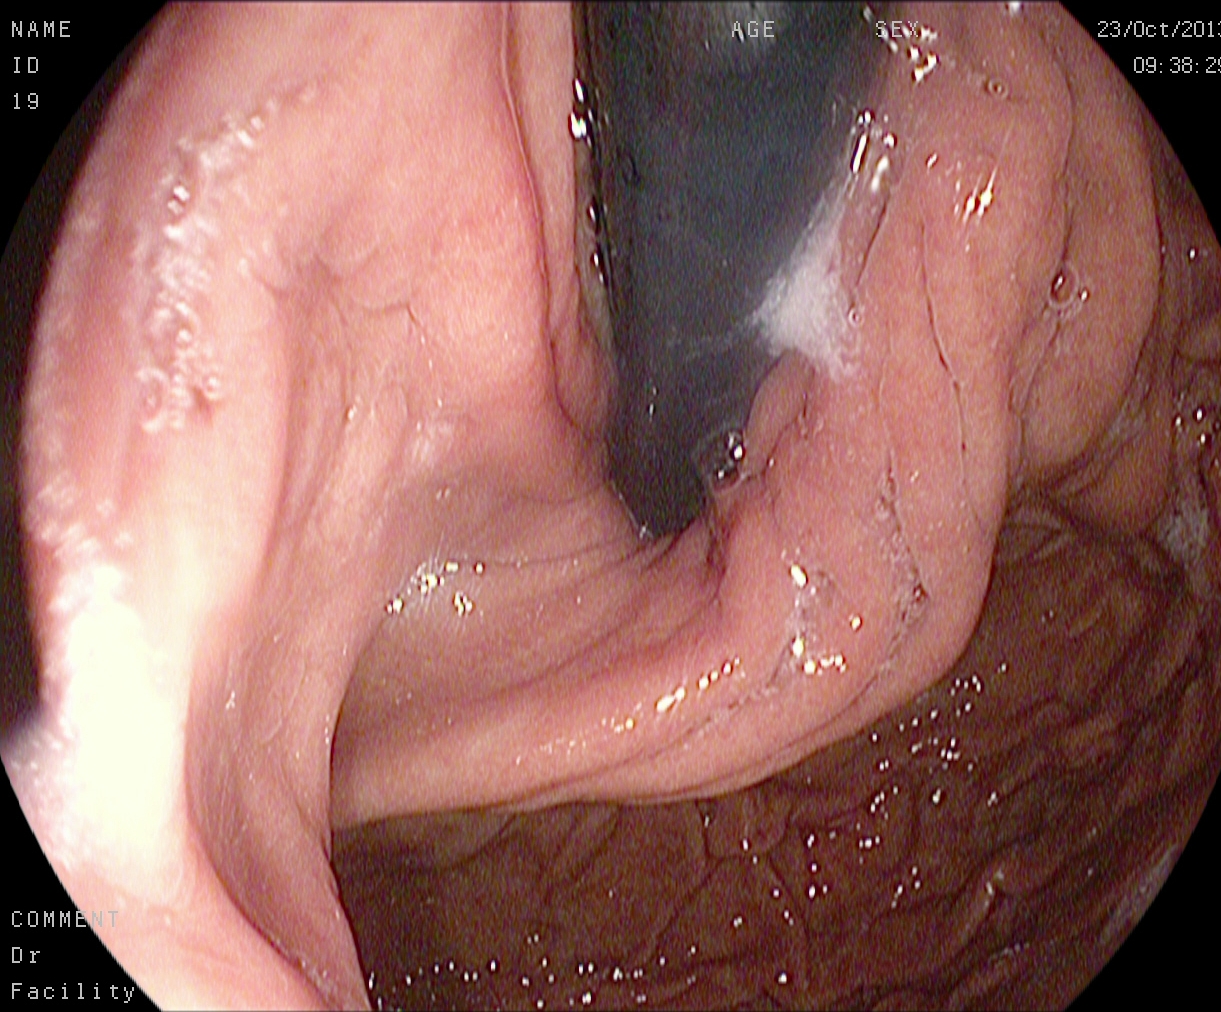Upper-GI endoscopy. Finding: stomach in retroflexion.